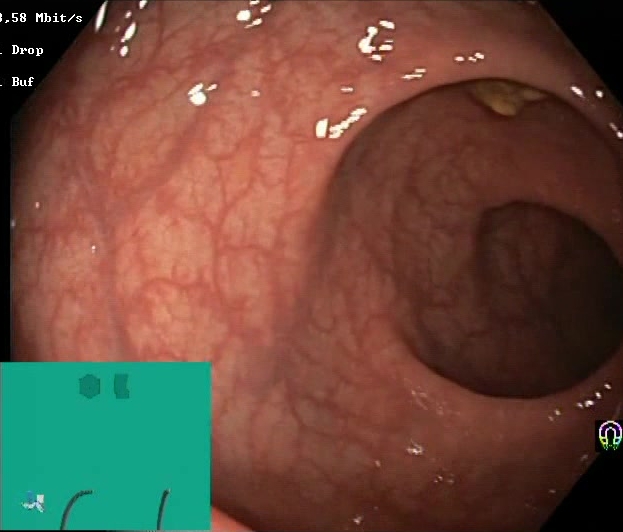Lower gastrointestinal endoscopy. Tract: lower GI tract. Finding: Boston Bowel Preparation Scale score 2–3 (adequate preparation).